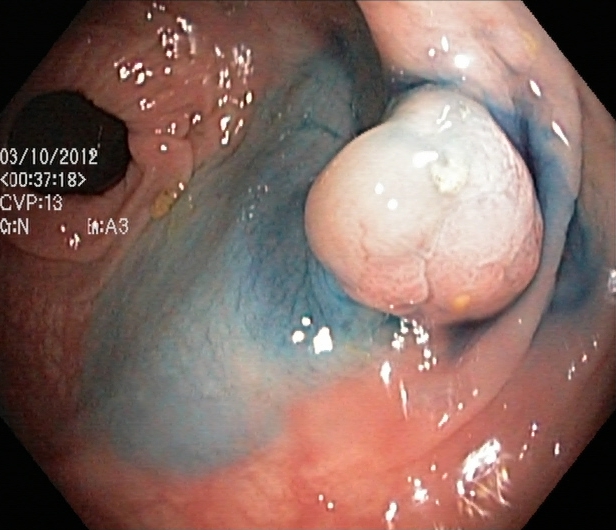PROCEDURE: Lower gastrointestinal endoscopy.
CATEGORY: Therapeutic intervention.
FINDINGS: Dyed and lifted polyp (pre-resection).